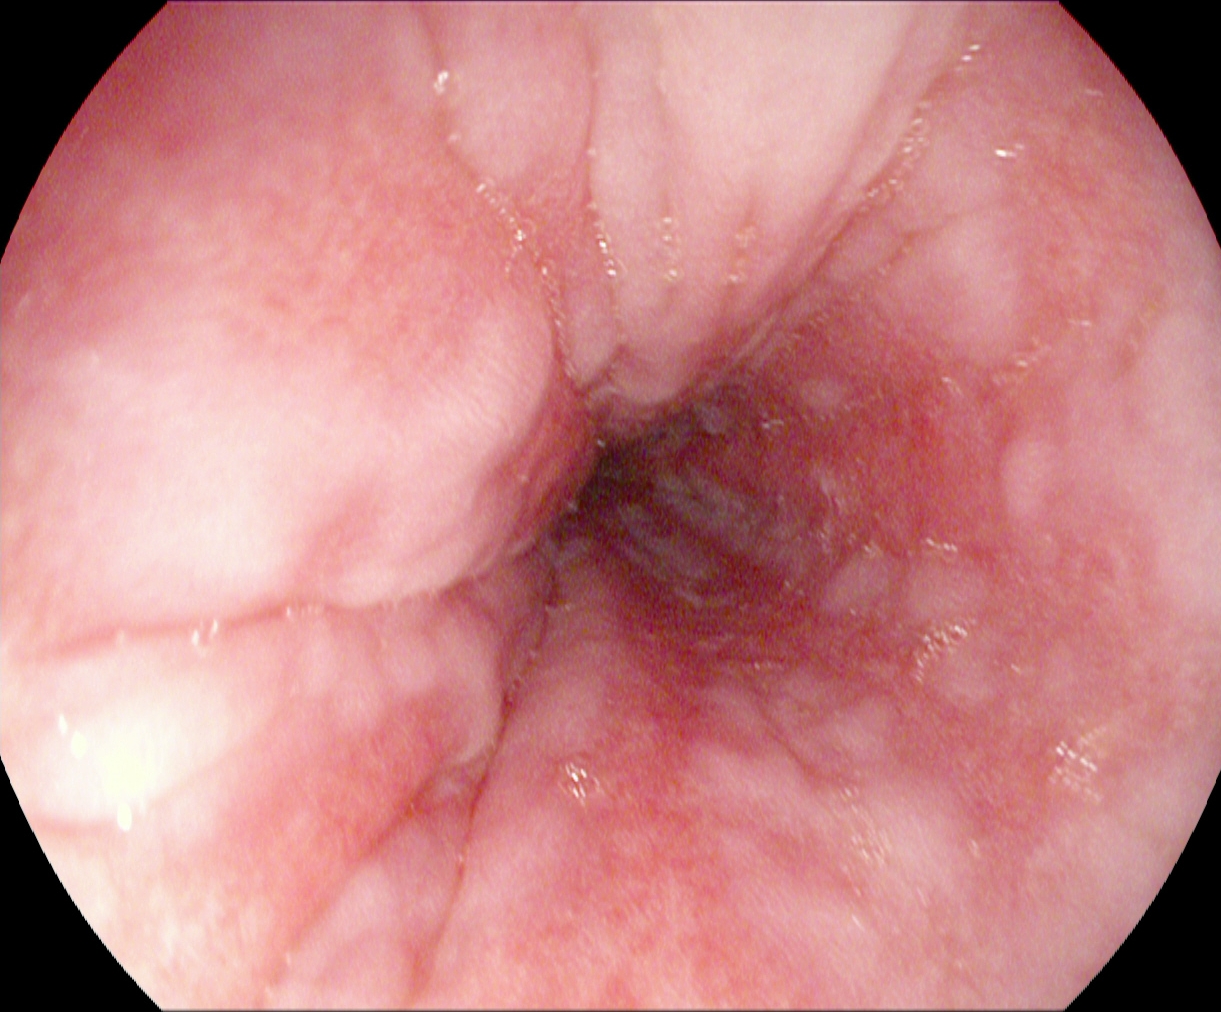modality: esophagogastroduodenoscopy
category: pathological finding
finding: reflux esophagitis, Los Angeles grade B–D